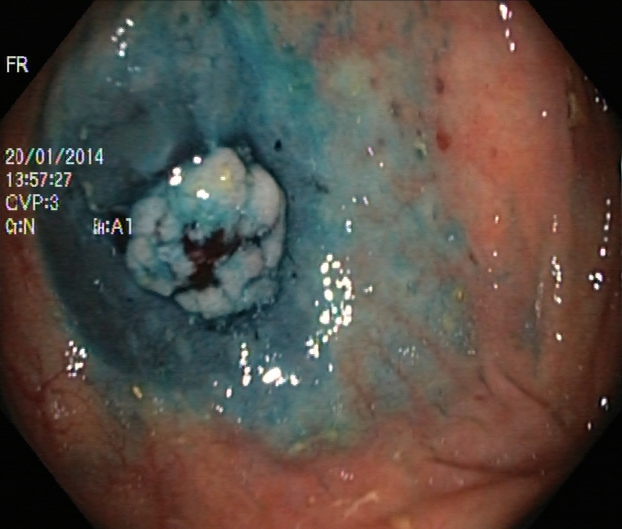PROCEDURE: Lower-GI endoscopy.
CATEGORY: Therapeutic intervention.
FINDINGS: Dyed and lifted polyp (pre-resection).